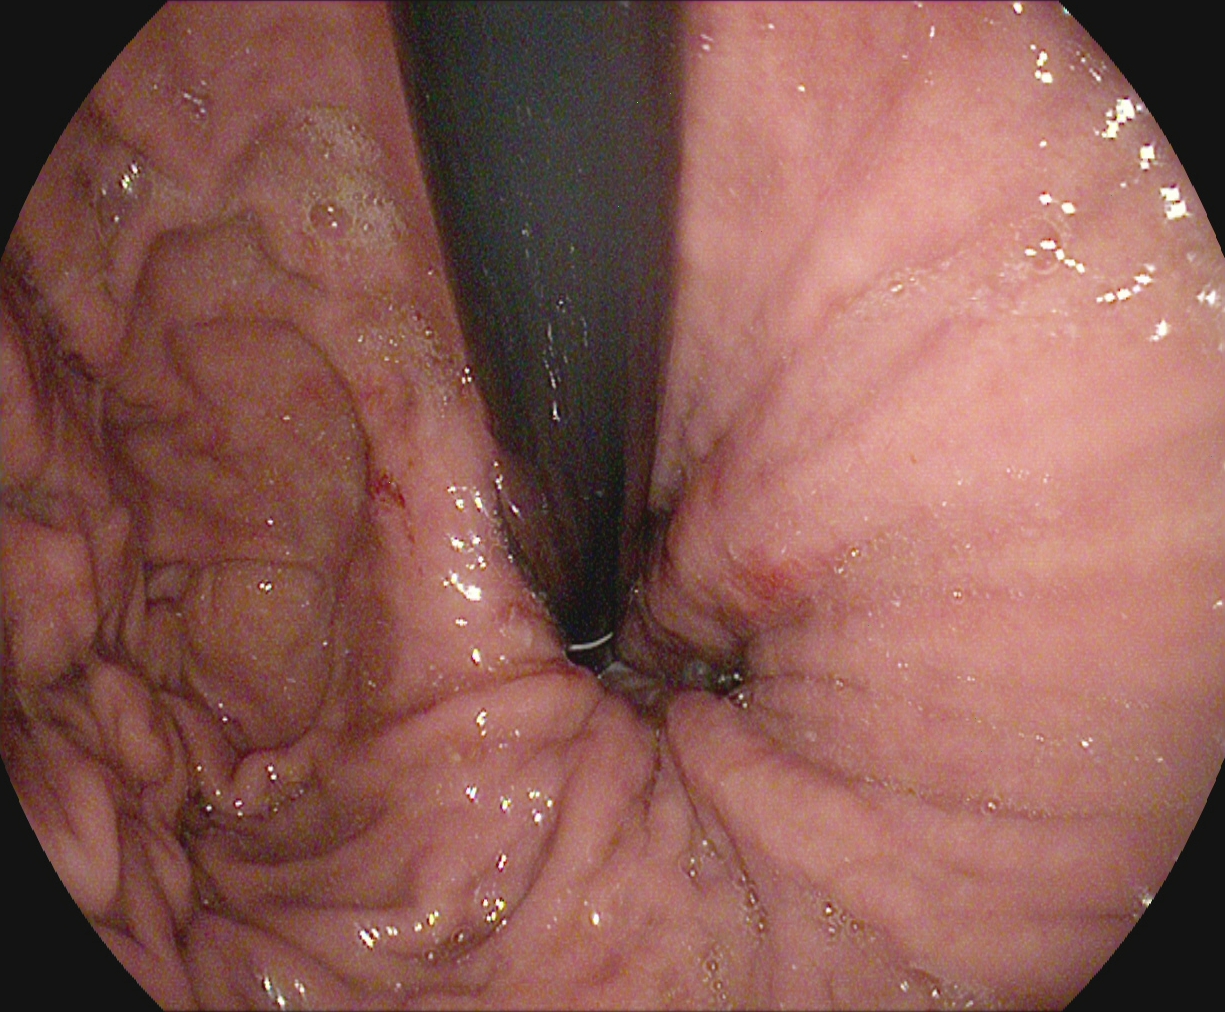This endoscopic image of the upper GI tract shows stomach in retroflexion.